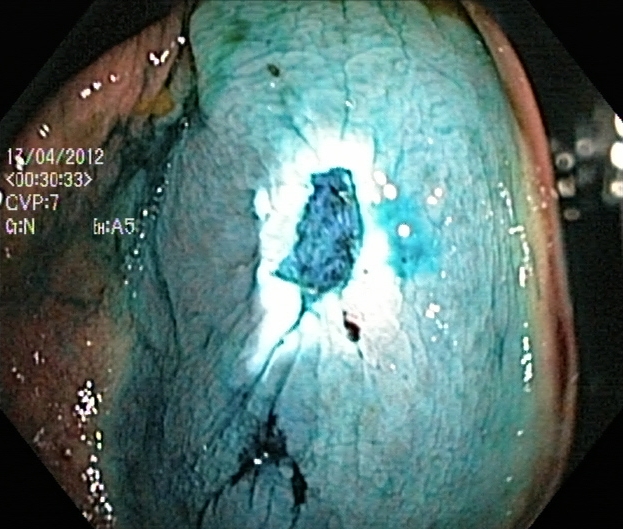modality: lower gastrointestinal endoscopy; finding: dyed resection margins (post-polypectomy)